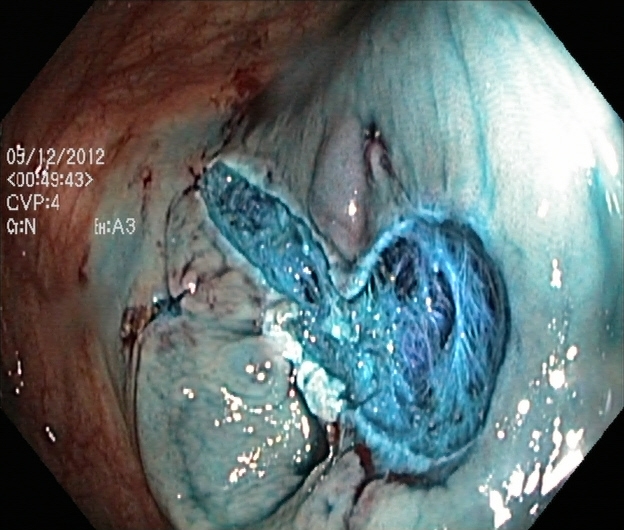Dyed resection margins (post-polypectomy).